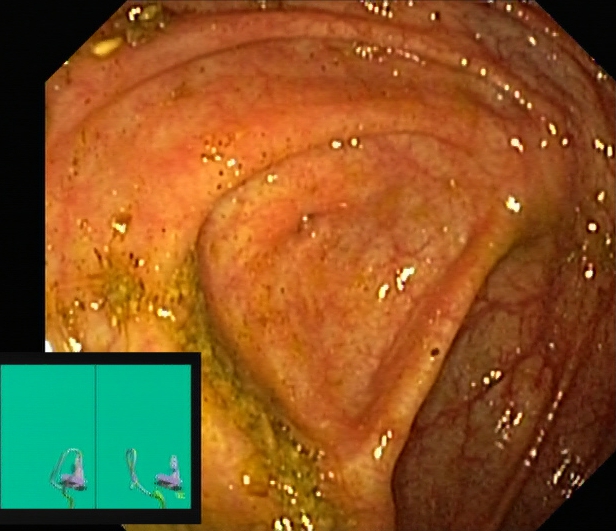Endoscopic image showing cecum.